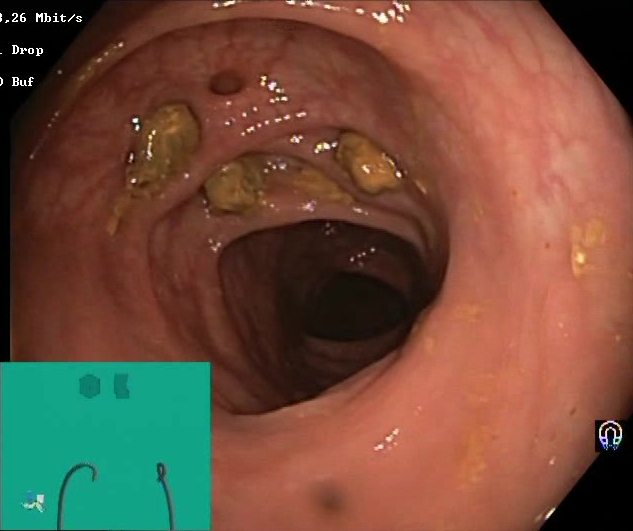Lower gastrointestinal endoscopy. Tract: lower GI tract. Mucosal-view quality. Finding: impacted stool.